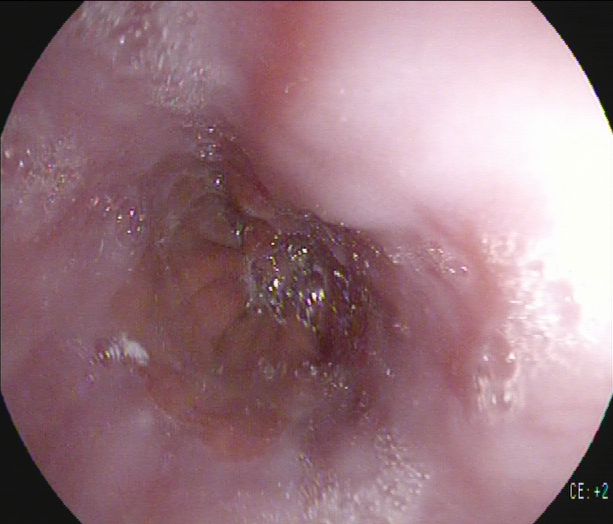This endoscopic image of the upper GI tract shows Z-line (gastroesophageal junction).